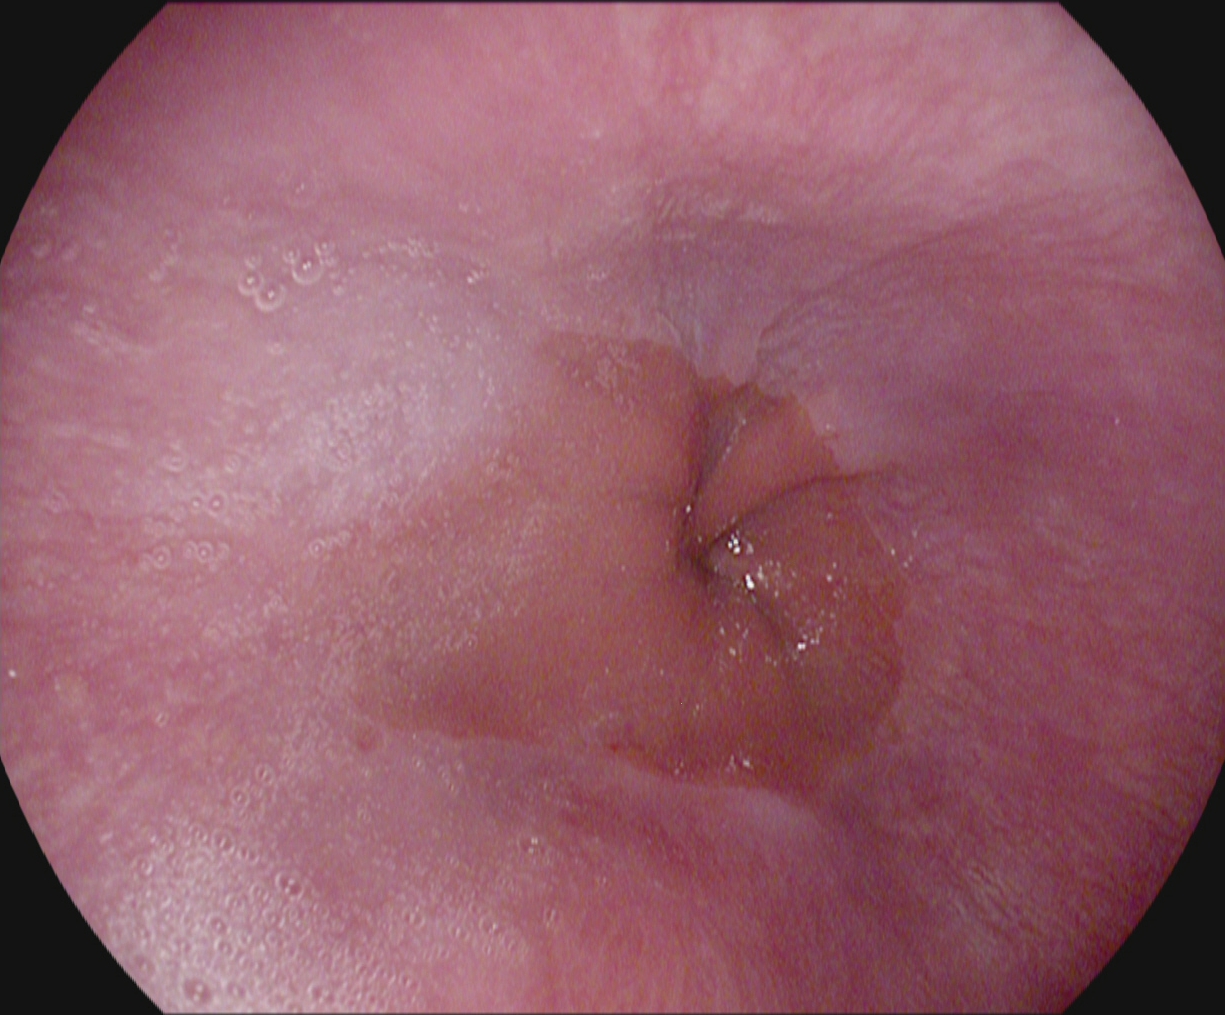PROCEDURE: EGD.
FINDINGS: Z-line (gastroesophageal junction).